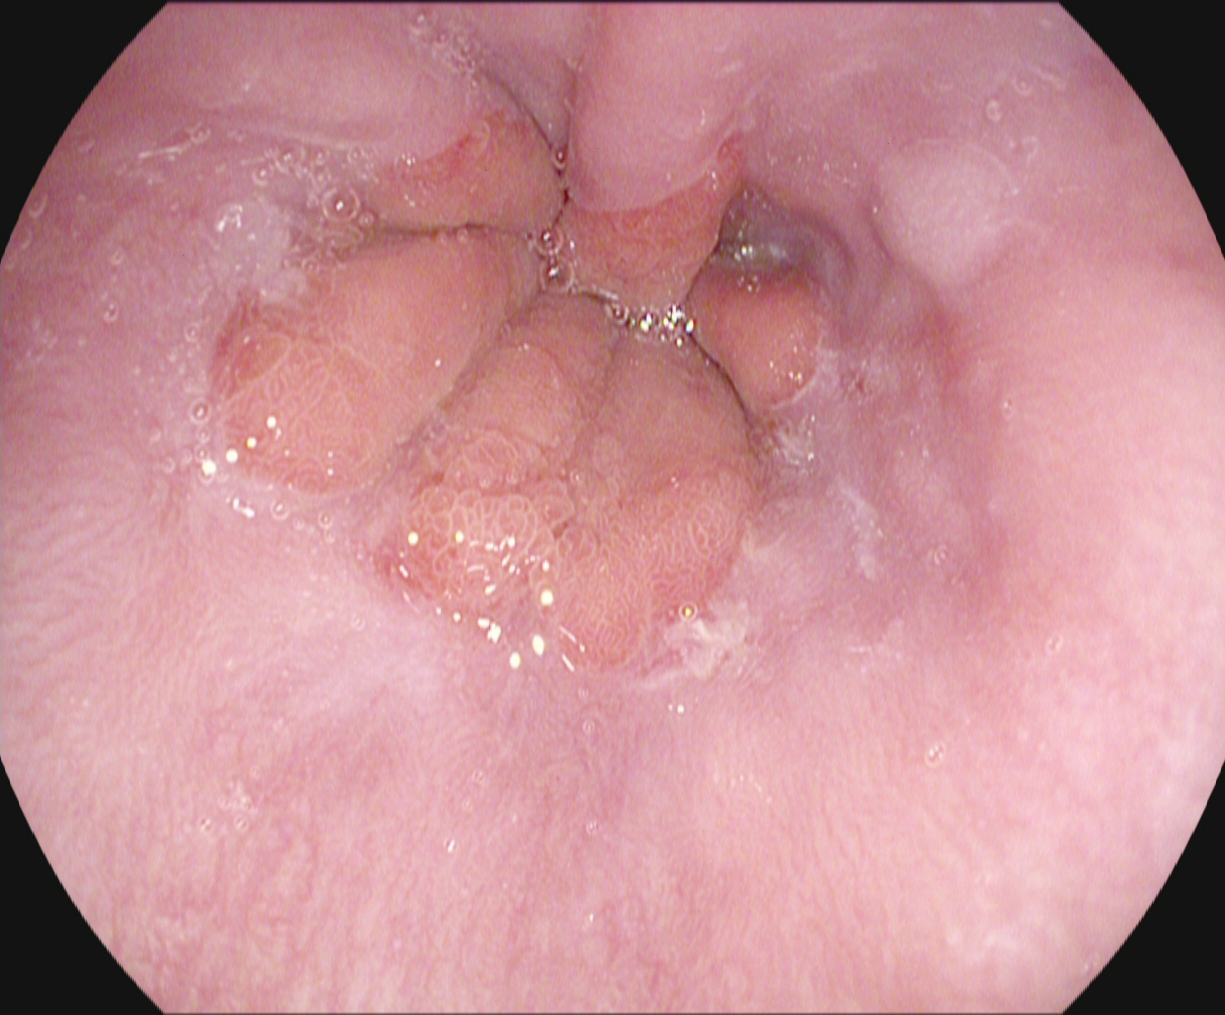modality: EGD
finding: Z-line (gastroesophageal junction)